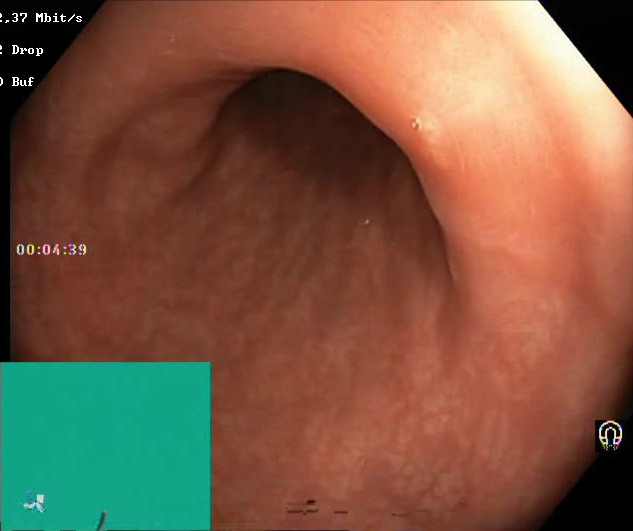Lower-GI endoscopy image showing BBPS score 2–3 (adequate preparation).